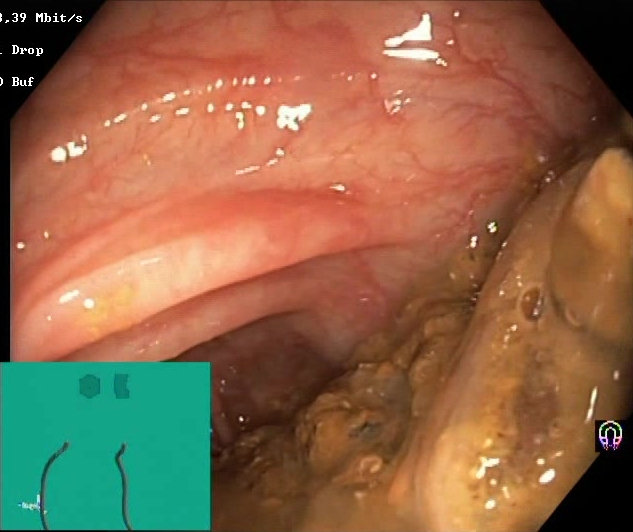Boston Bowel Preparation Scale score 0–1 (inadequate preparation).